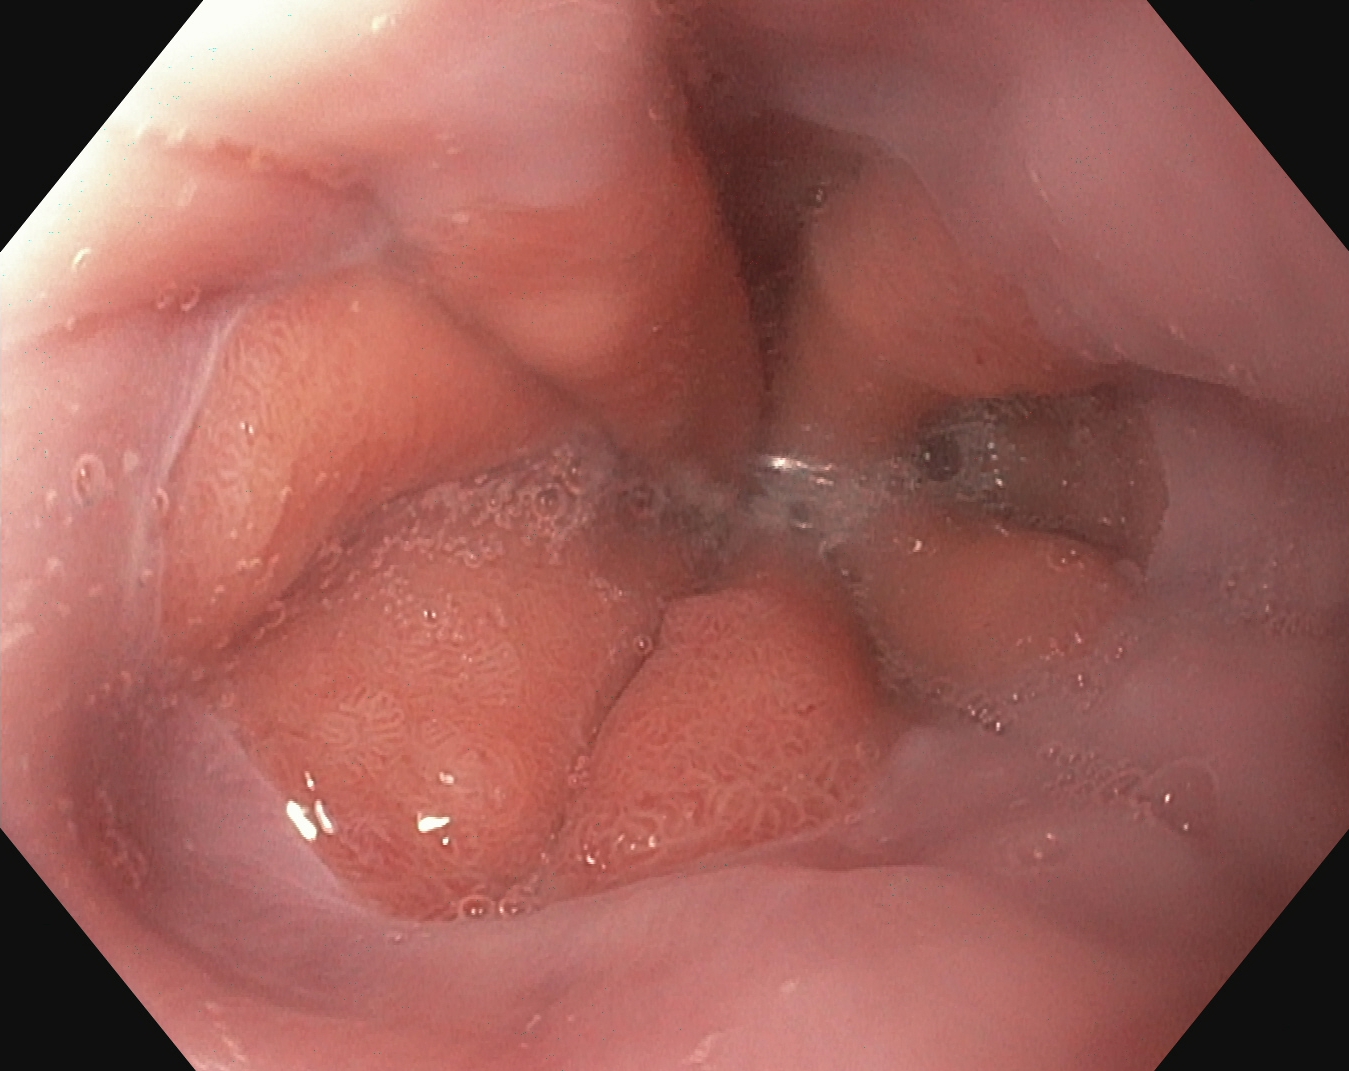PROCEDURE: Esophagogastroduodenoscopy.
CATEGORY: Anatomical landmark.
FINDINGS: Z-line (gastroesophageal junction).